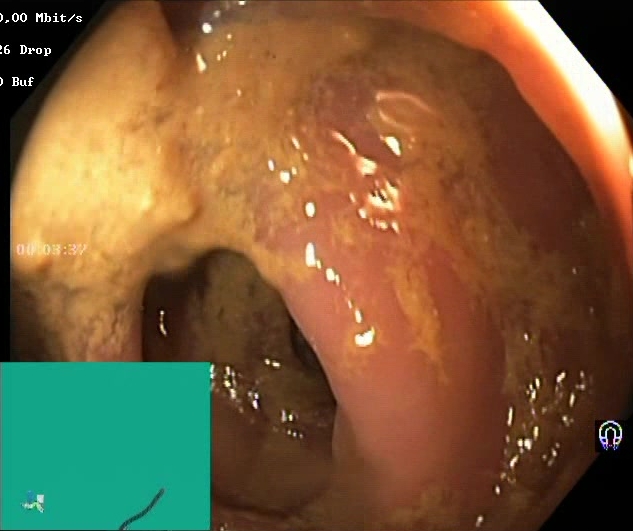PROCEDURE: Colonoscopy.
FINDINGS: Boston Bowel Preparation Scale score 0–1 (inadequate preparation).